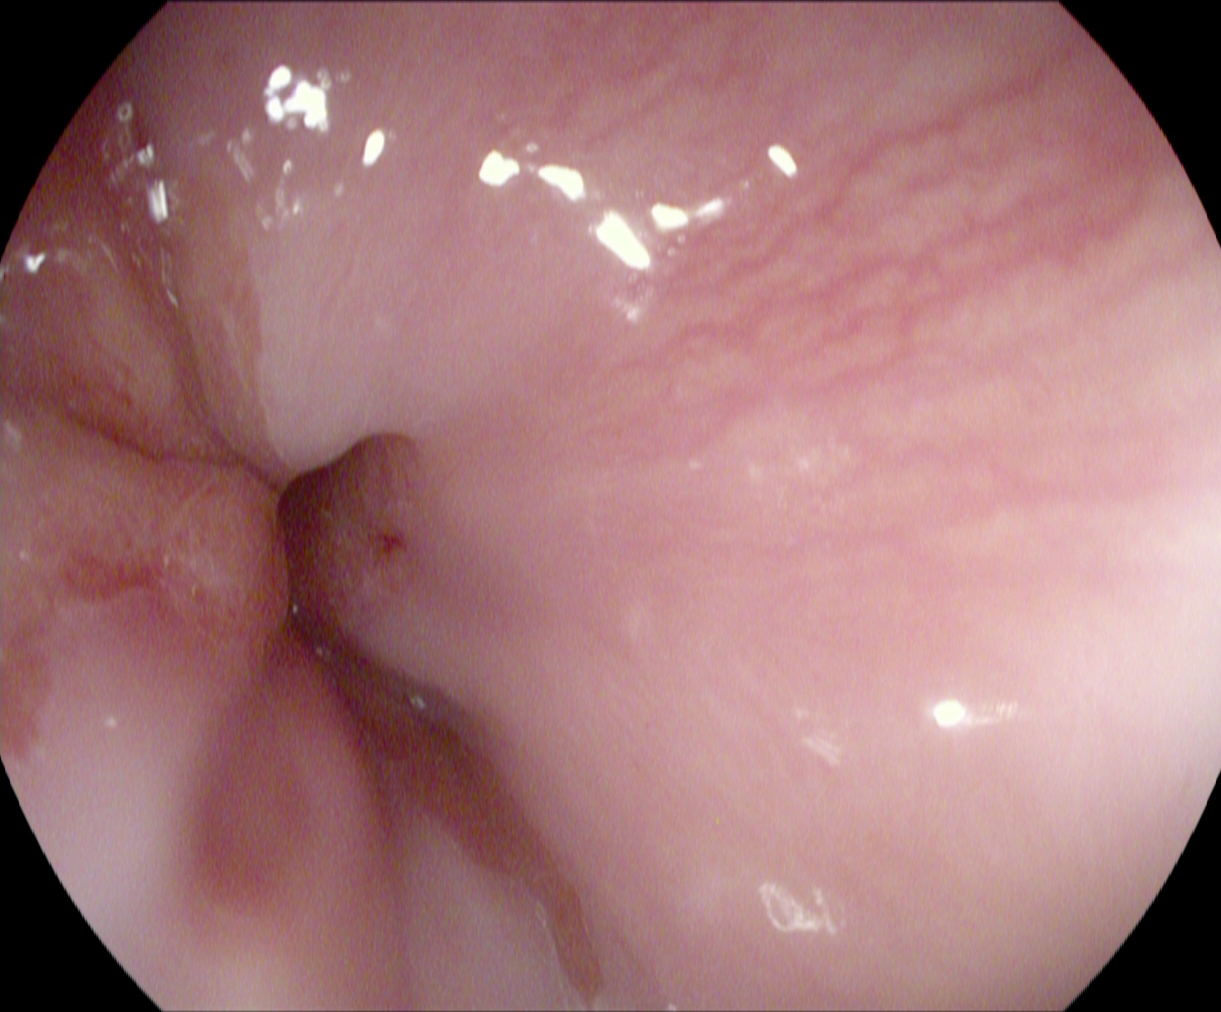EGD — Z-line (gastroesophageal junction).